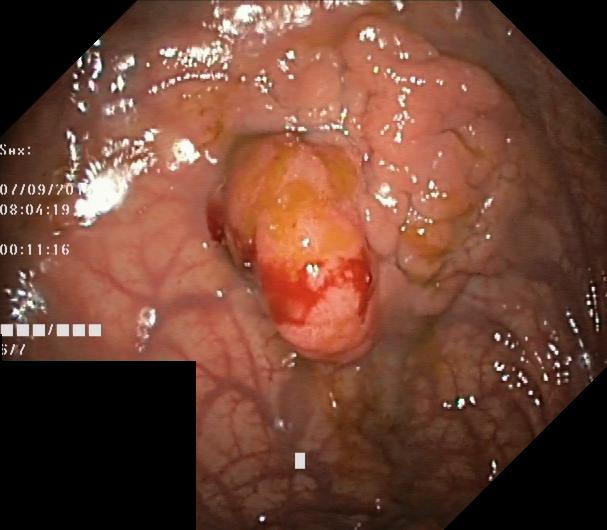Colorectal polyp(s).